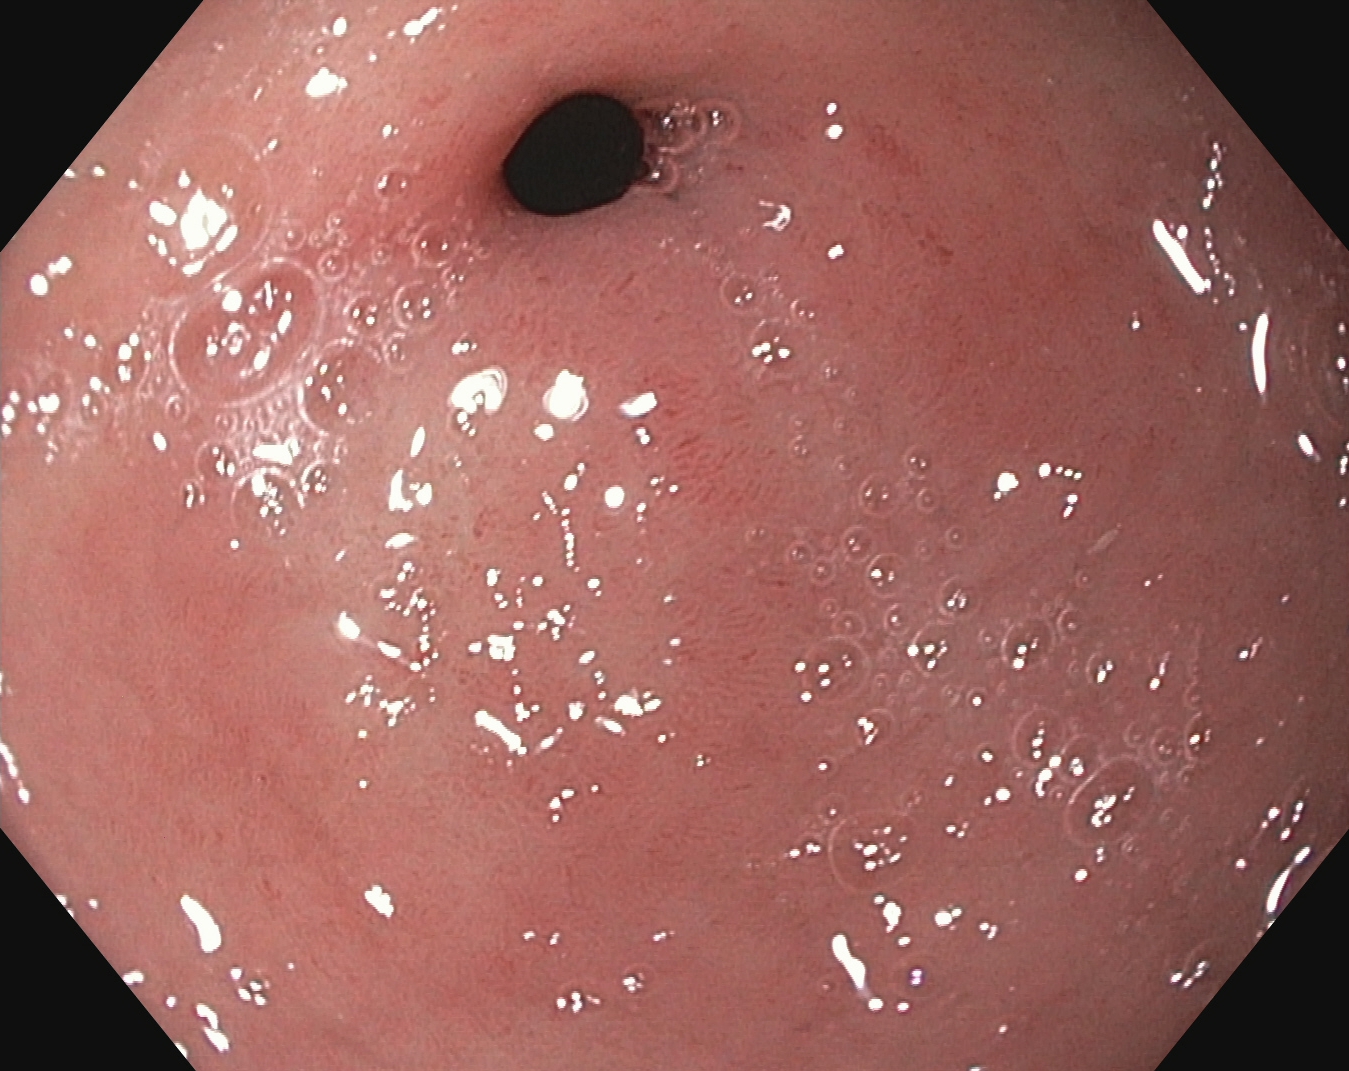Pylorus.